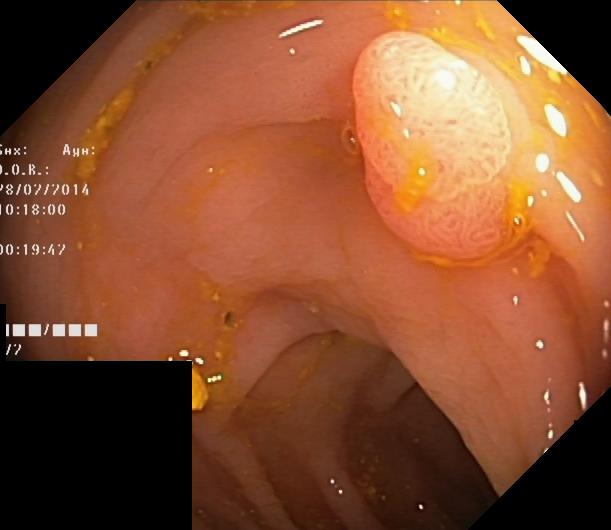modality: colonoscopy; finding: colorectal polyp(s)